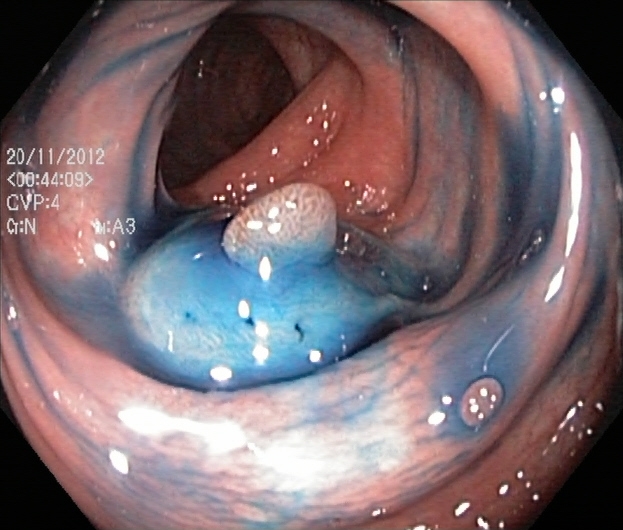This endoscopic image of the lower GI tract shows dyed and lifted polyp (pre-resection).